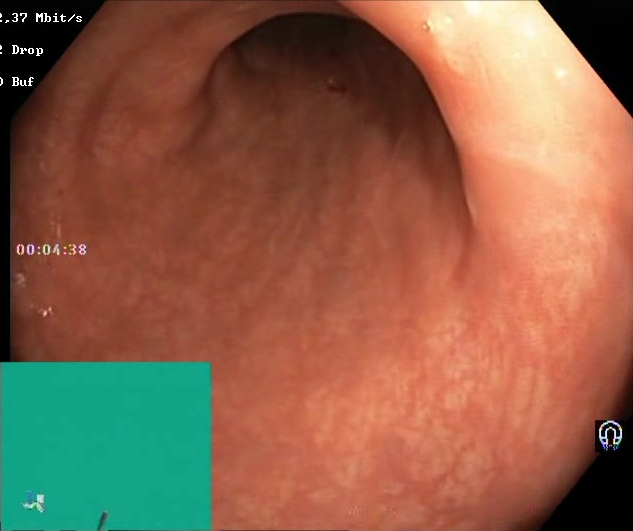Boston Bowel Preparation Scale score 2–3 (adequate preparation).